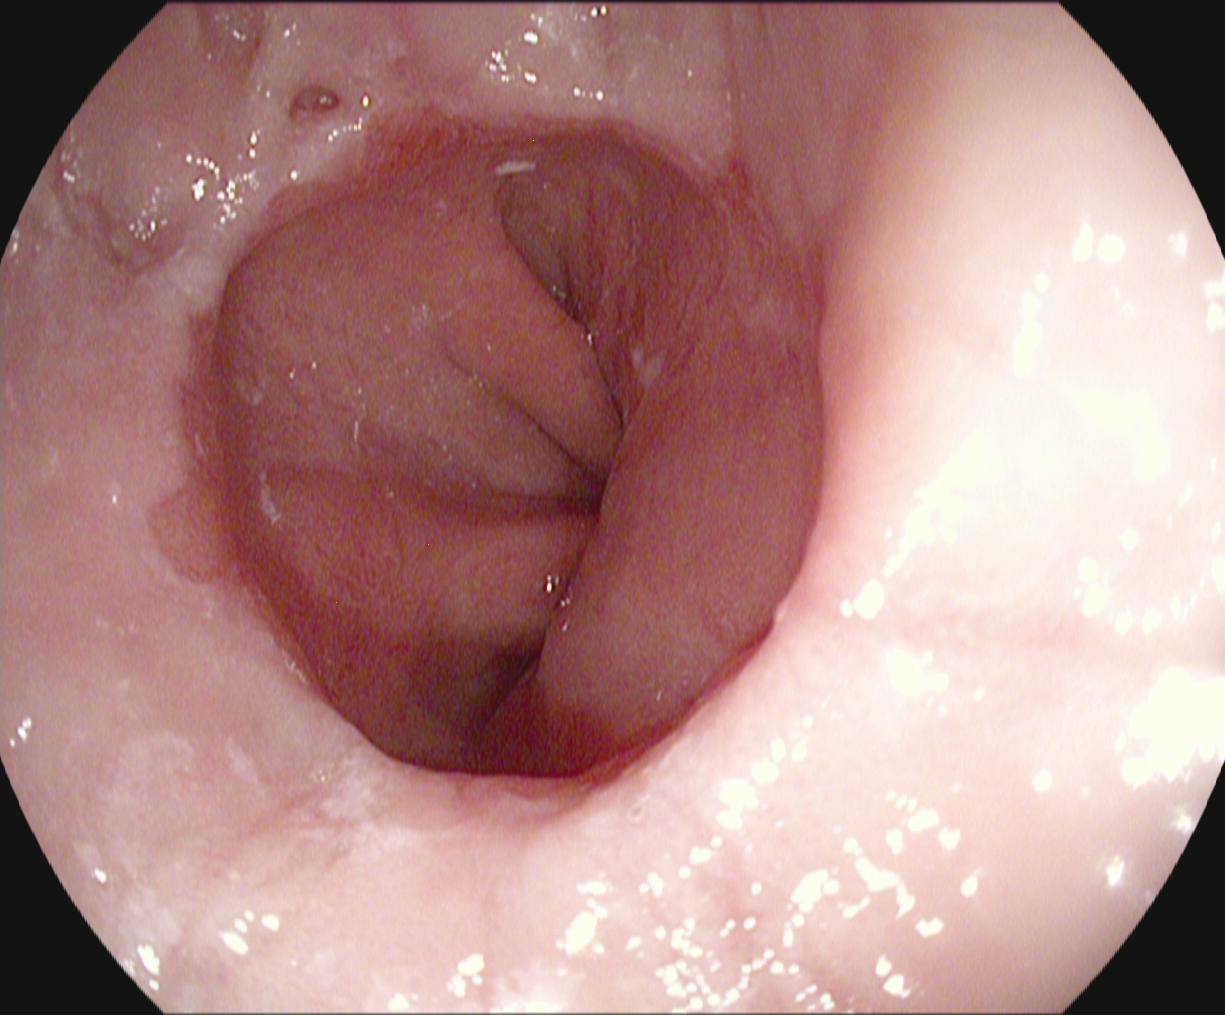PROCEDURE: EGD.
FINDINGS: Reflux esophagitis, LA grade A.